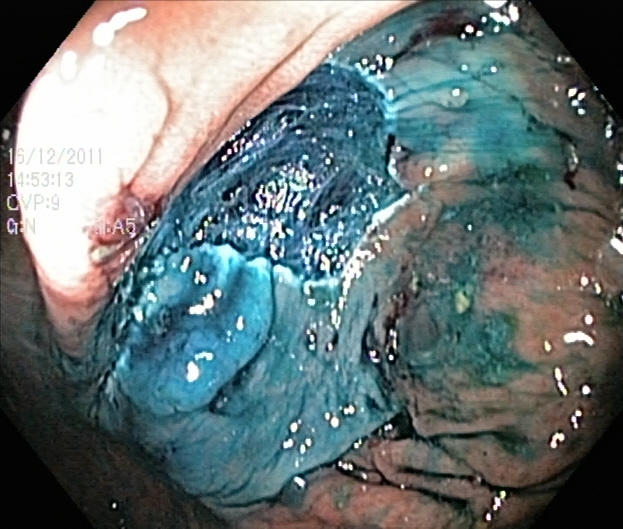Gastrointestinal endoscopy image showing dyed resection margins (post-polypectomy).